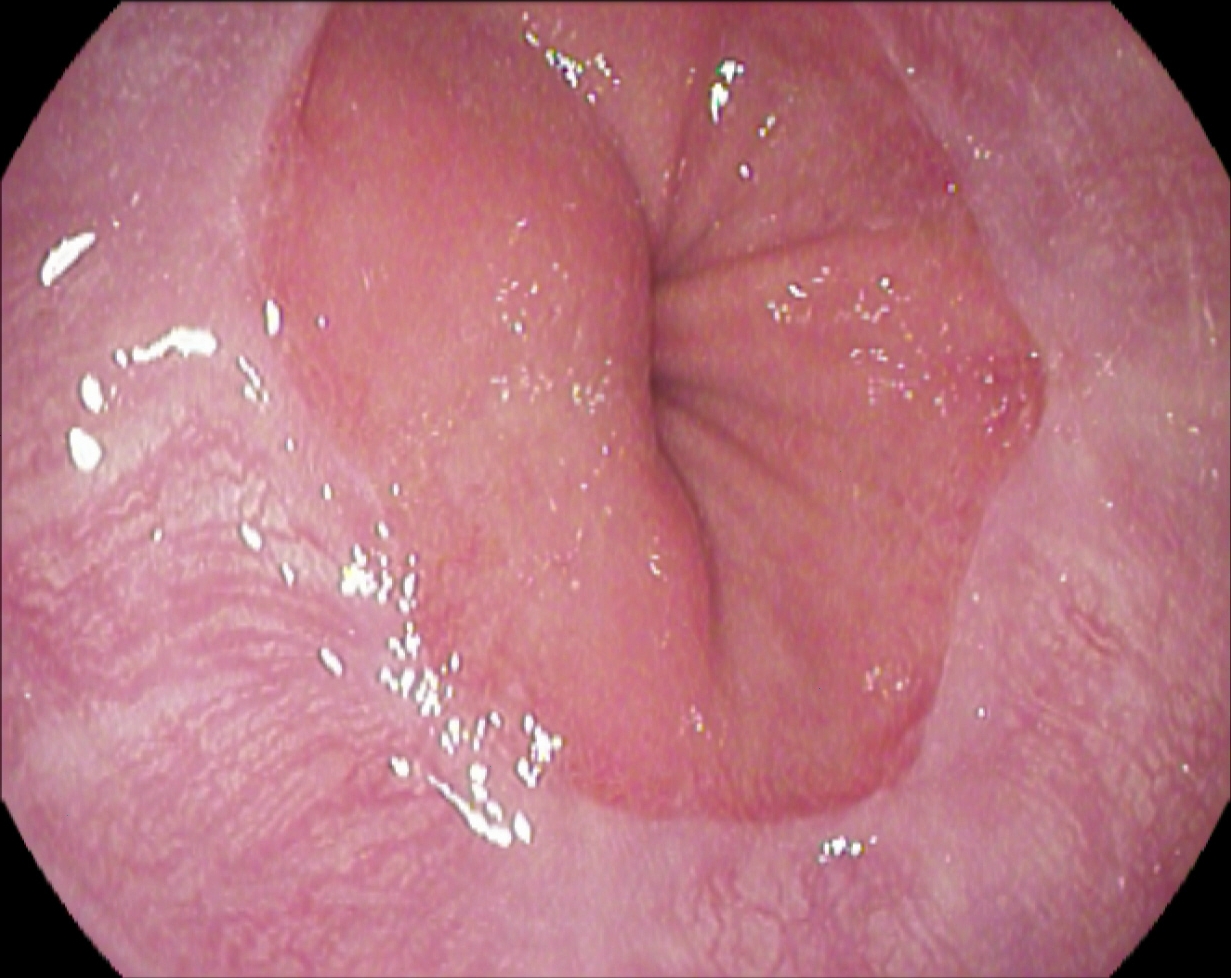Z-line (gastroesophageal junction).